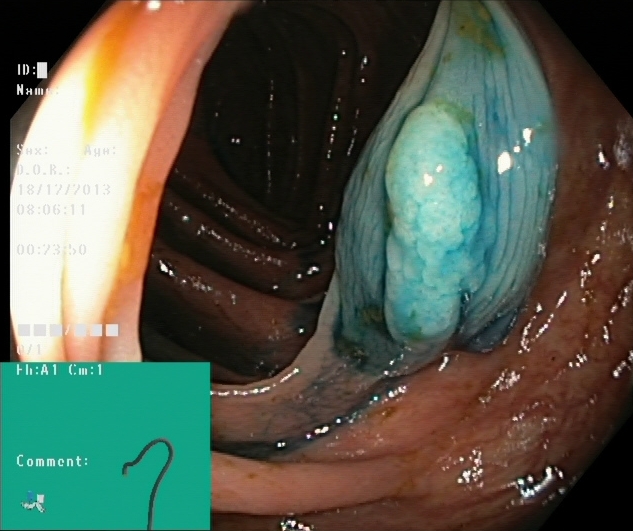Colonoscopy — dyed and lifted polyp (pre-resection).